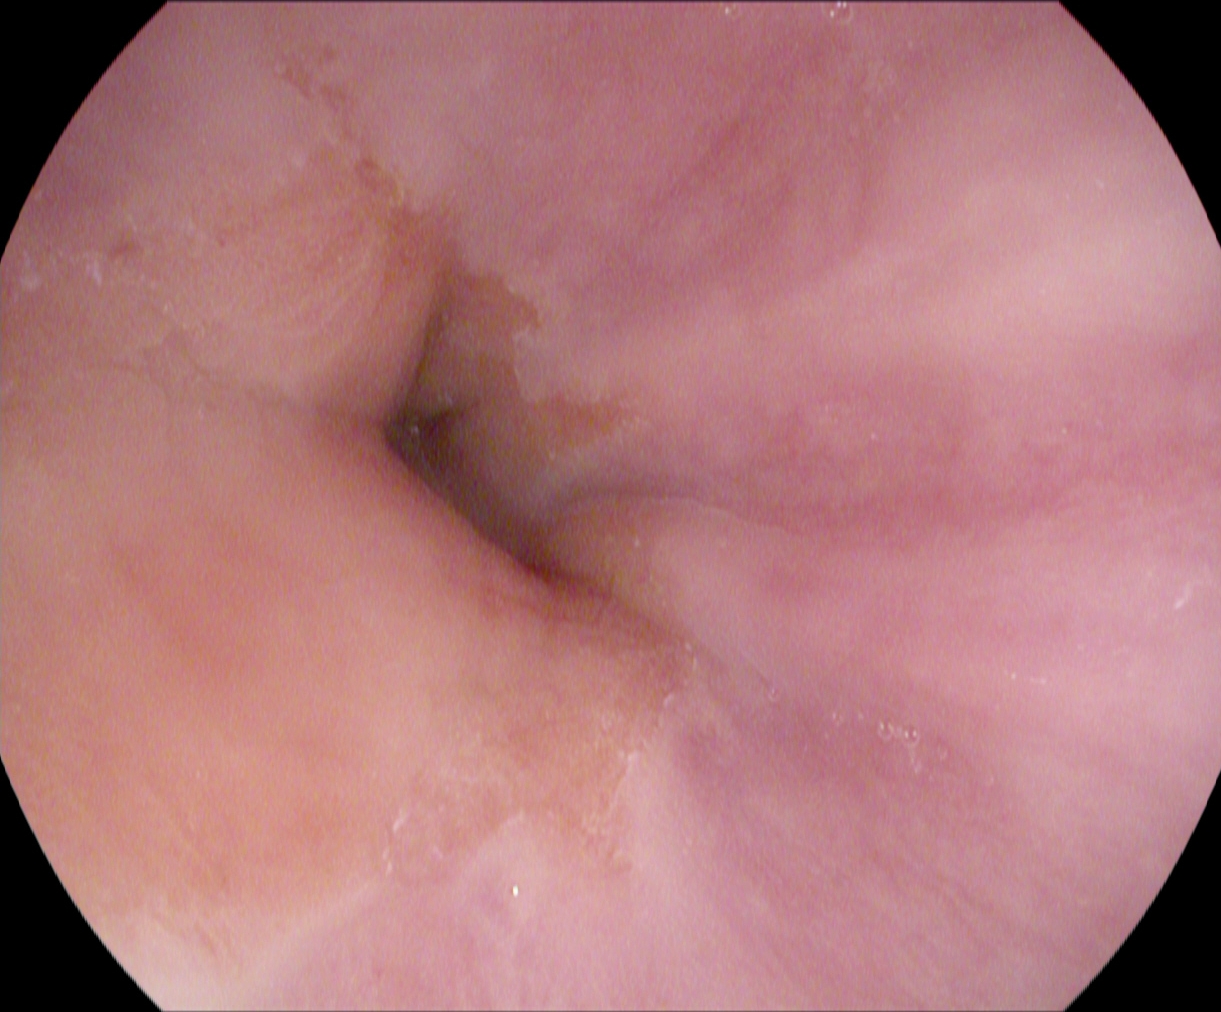Gastroscopy. Finding: Z-line (gastroesophageal junction).